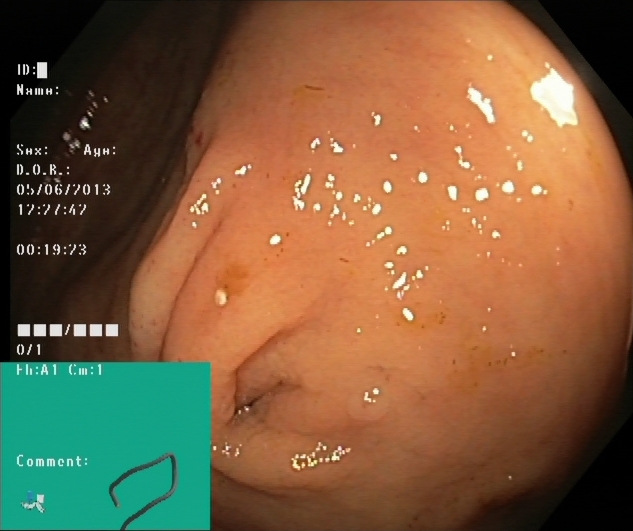Endoscopic frame of the lower GI tract showing cecum.